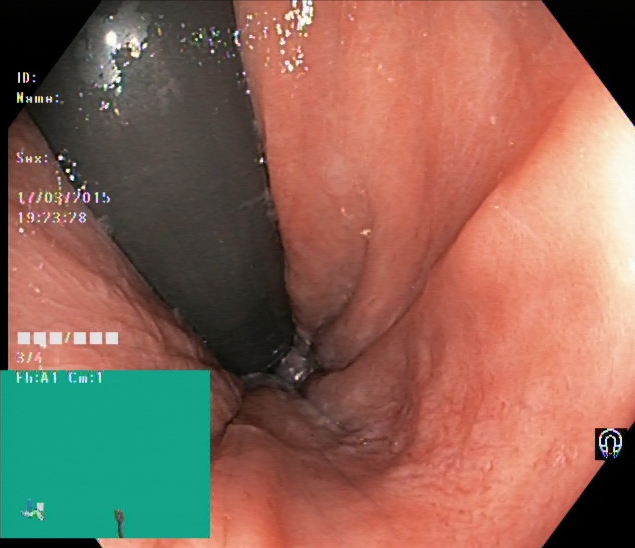Colonoscopy. Tract: lower GI tract. Finding: rectum in retroflexion.